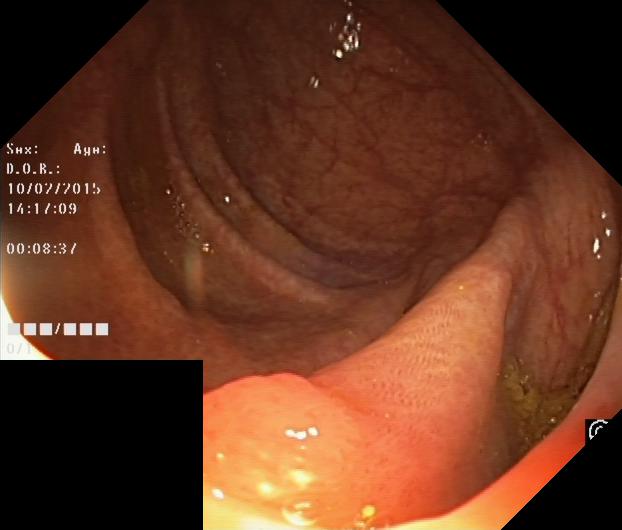{"modality": "lower gastrointestinal endoscopy", "tract": "lower GI tract", "finding": "colorectal polyp(s)"}